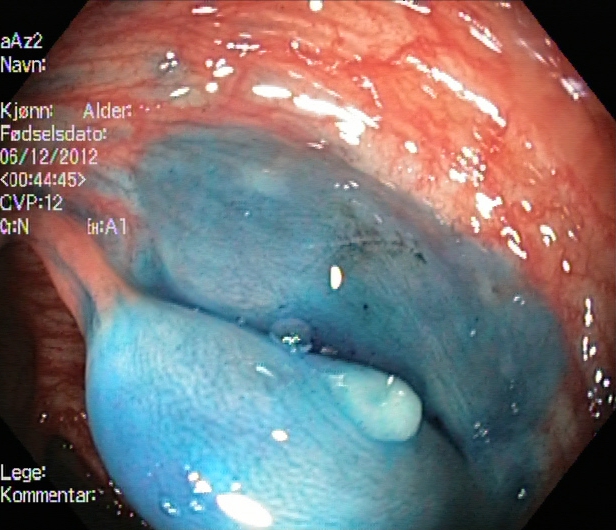Lower-GI endoscopy. Tract: lower GI tract. Finding: dyed and lifted polyp (pre-resection).